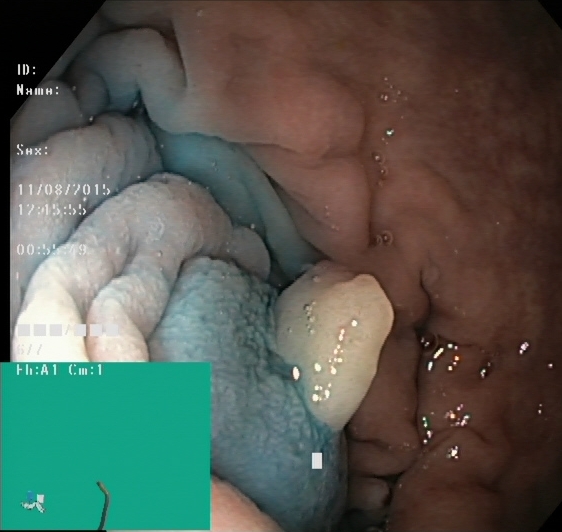Endoscopic frame of the lower GI tract showing dyed and lifted polyp (pre-resection).